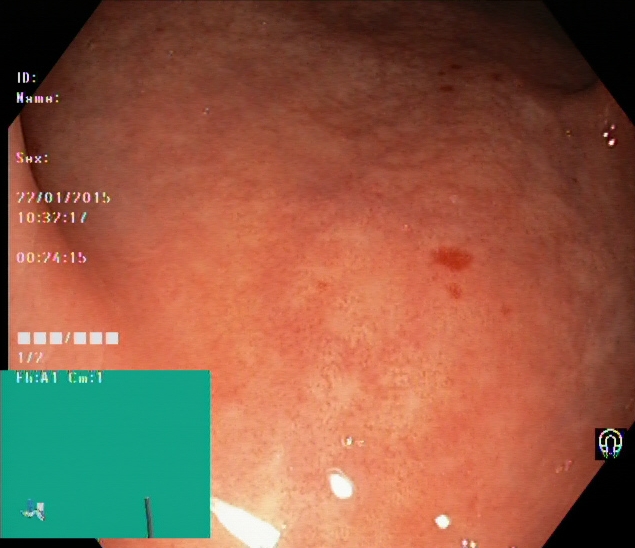{"modality": "lower gastrointestinal endoscopy", "tract": "lower GI tract", "category": "pathological finding", "finding": "UC, Mayo endoscopic subscore 1"}